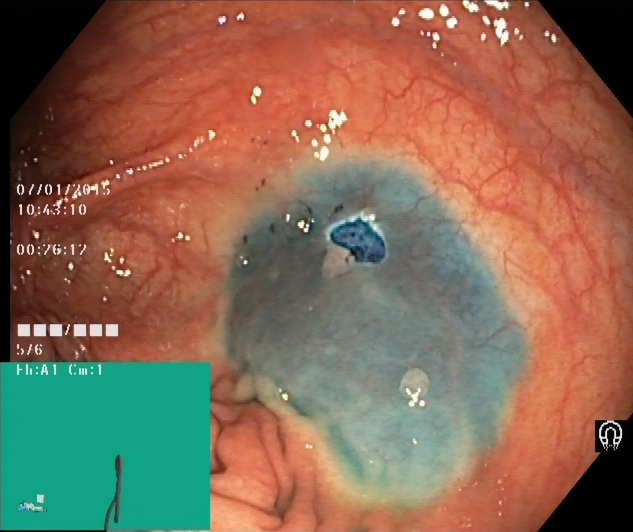PROCEDURE: Lower-GI endoscopy.
FINDINGS: Dyed resection margins (post-polypectomy).